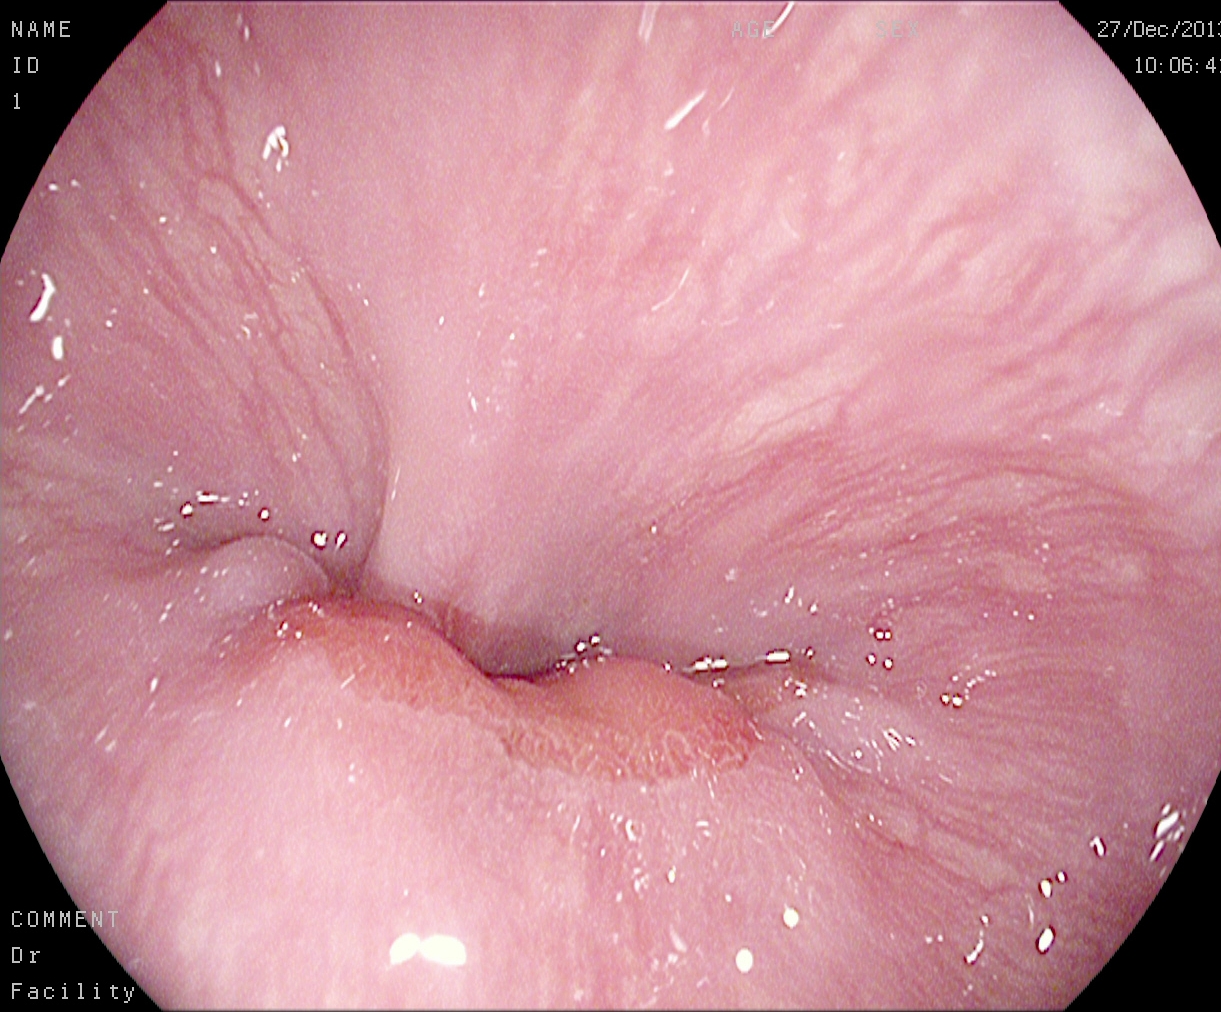{"modality": "esophagogastroduodenoscopy", "tract": "upper GI tract", "category": "anatomical landmark", "finding": "Z-line (gastroesophageal junction)"}